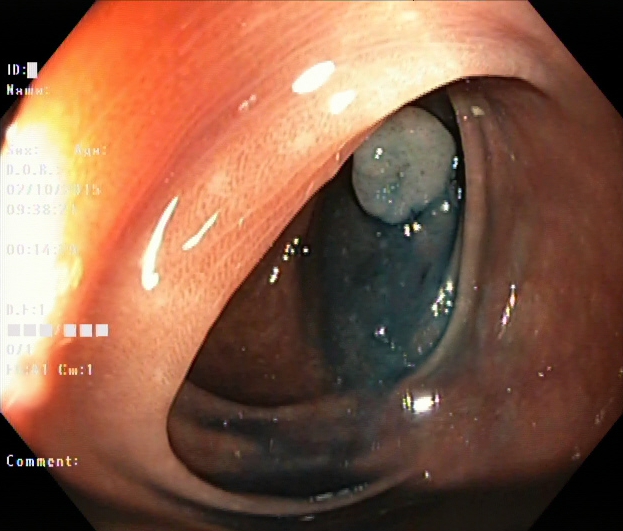Colonoscopy. Tract: lower GI tract. Finding: dyed and lifted polyp (pre-resection).